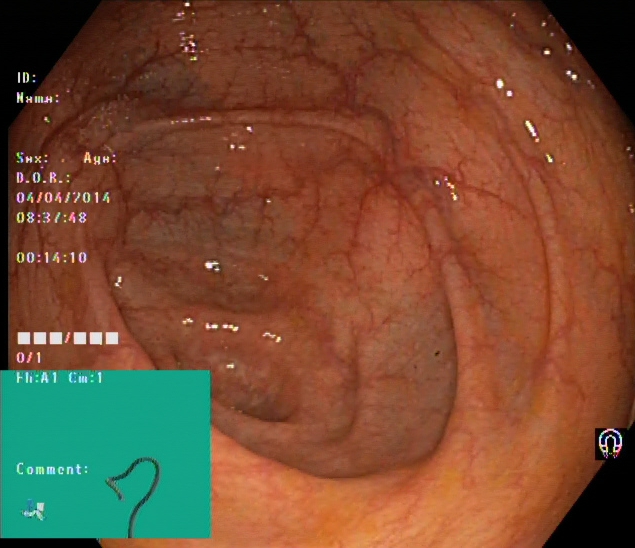Lower-GI endoscopy. Tract: lower GI tract. Finding: cecum.